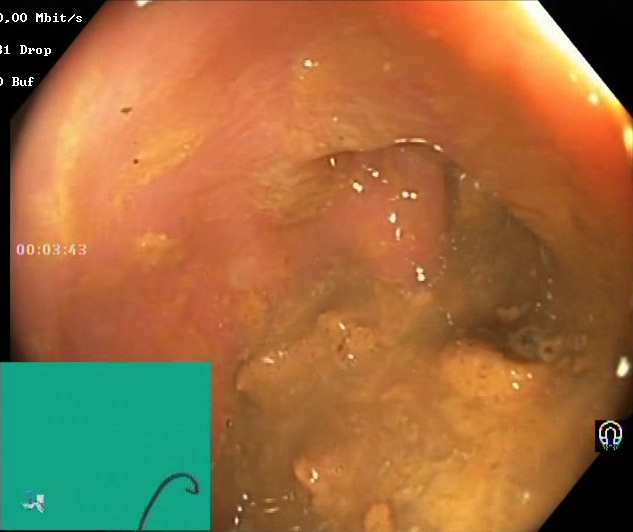BBPS score 0–1 (inadequate preparation).